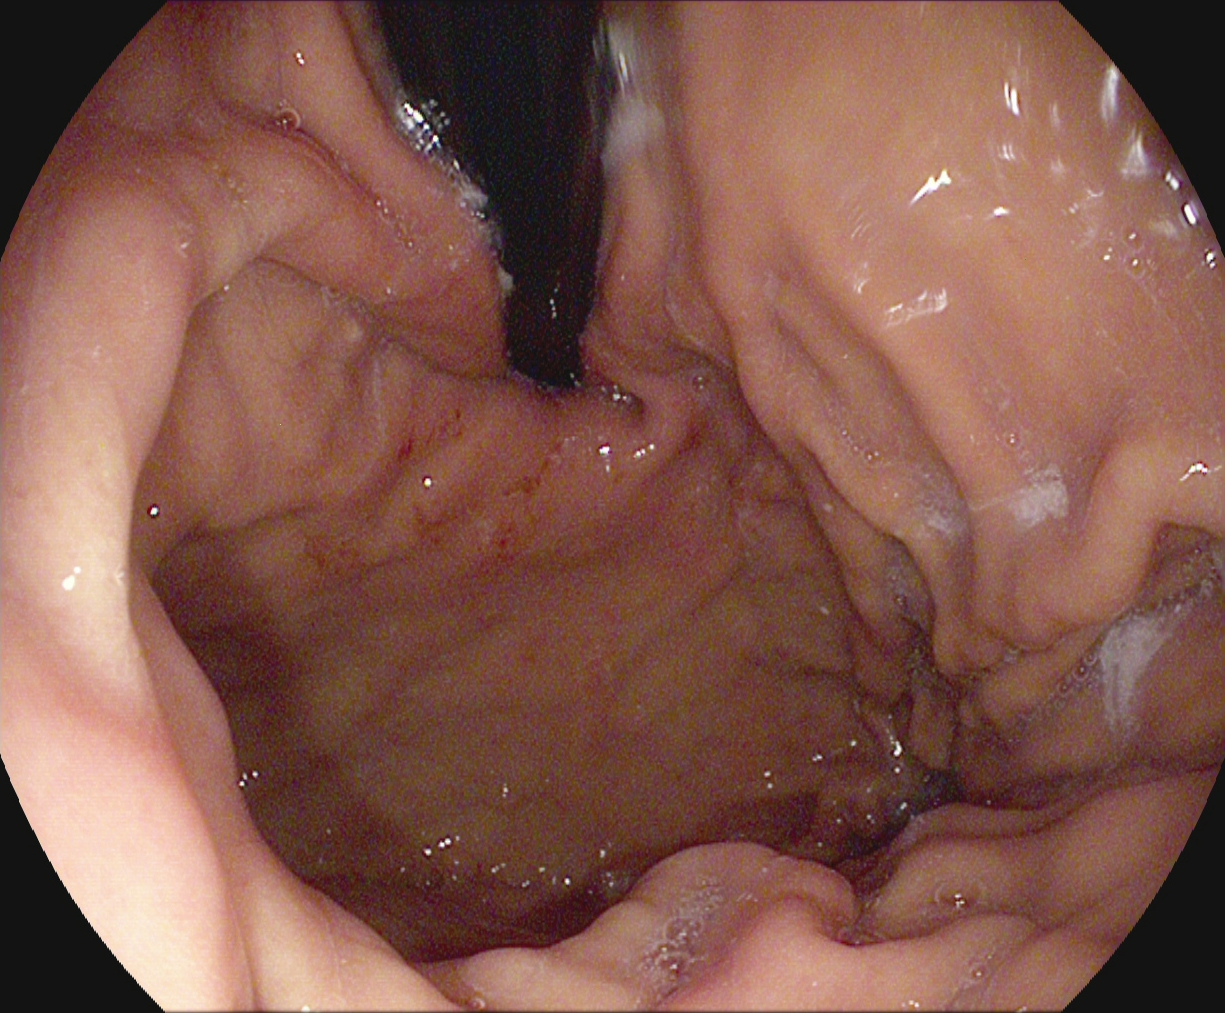Gastroscopy. Tract: upper GI tract. Anatomical landmark. Finding: stomach in retroflexion.